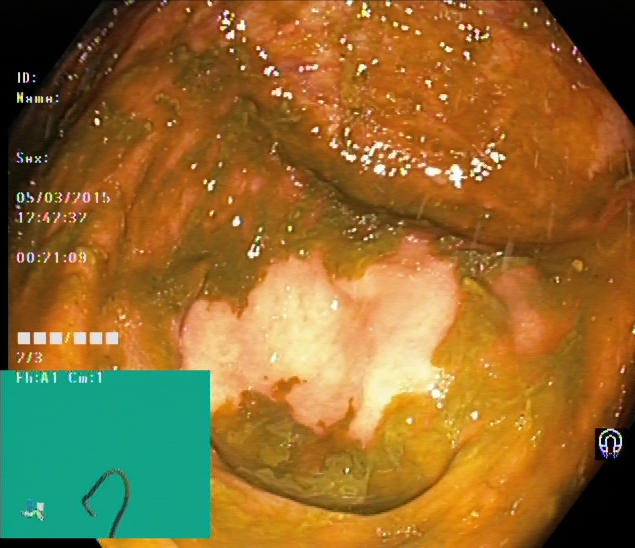Lower gastrointestinal endoscopy — cecum.